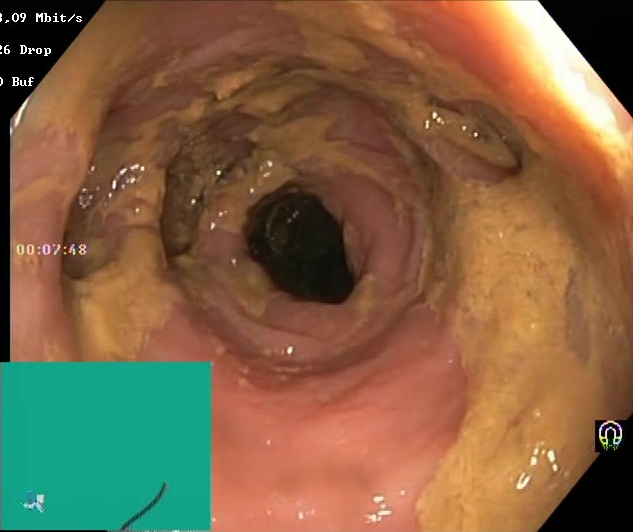Lower gastrointestinal endoscopy. Mucosal-view quality. Finding: Boston Bowel Preparation Scale score 0–1 (inadequate preparation).